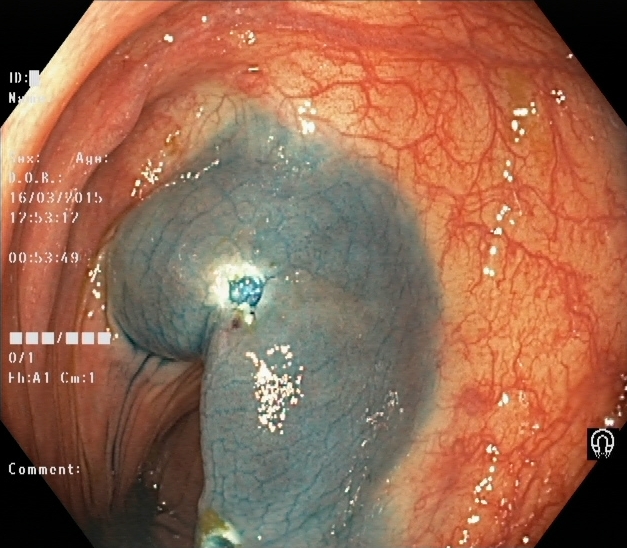Colonoscopy — dyed resection margins (post-polypectomy).